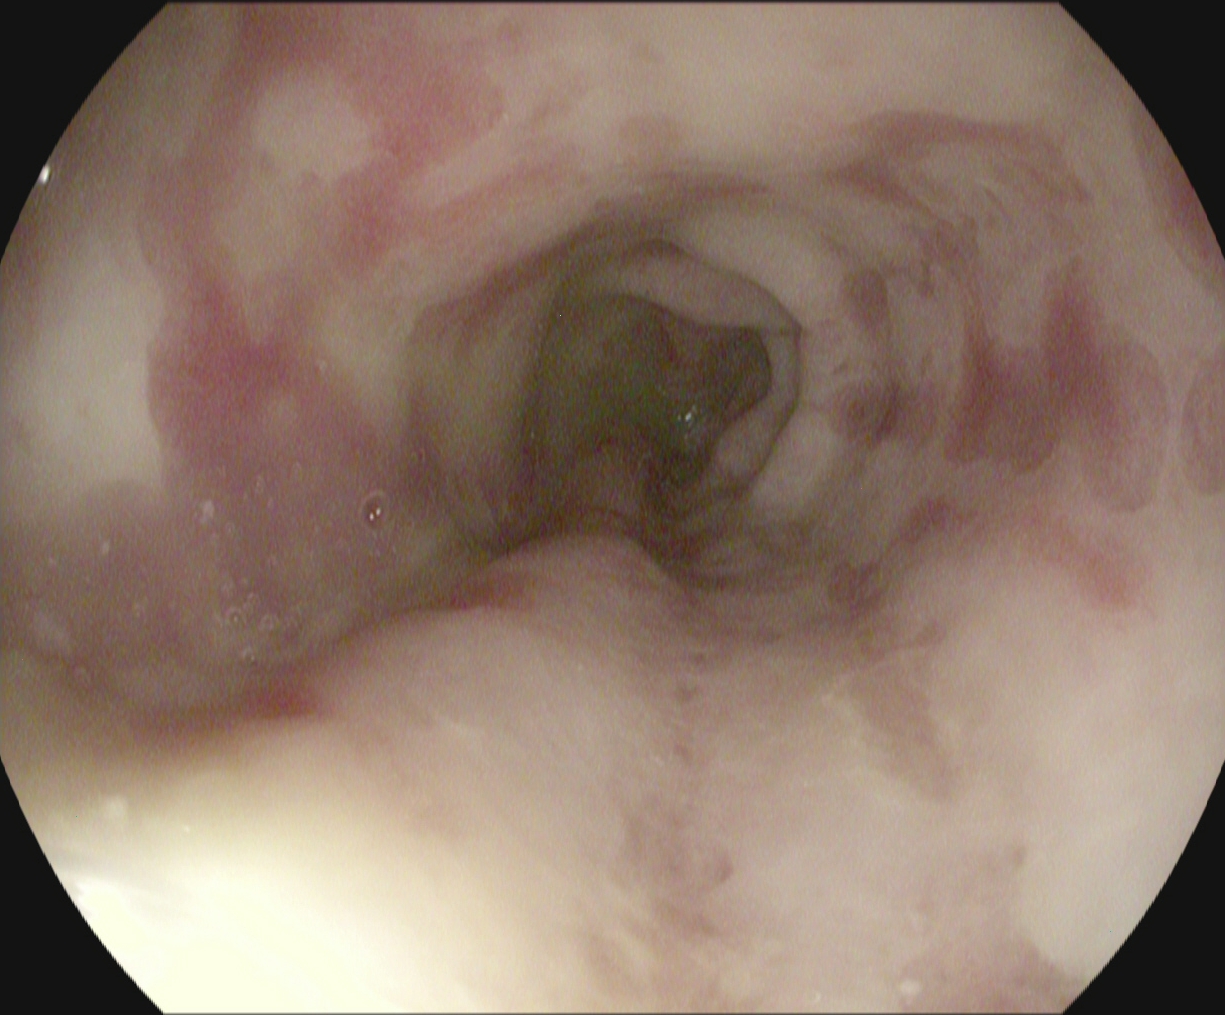Reflux esophagitis, Los Angeles grade B–D.